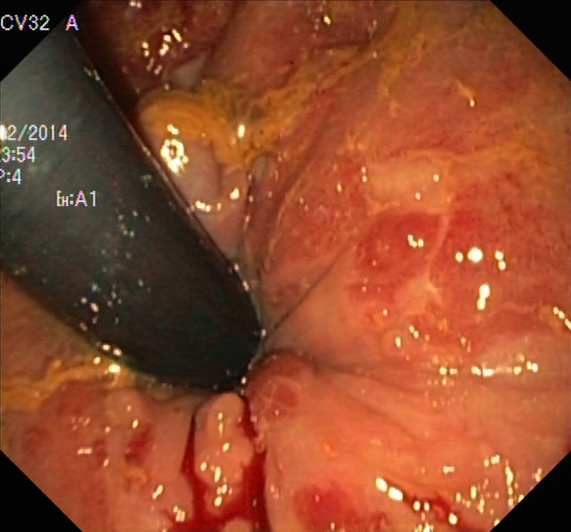This endoscopic image of the lower GI tract shows rectum in retroflexion.